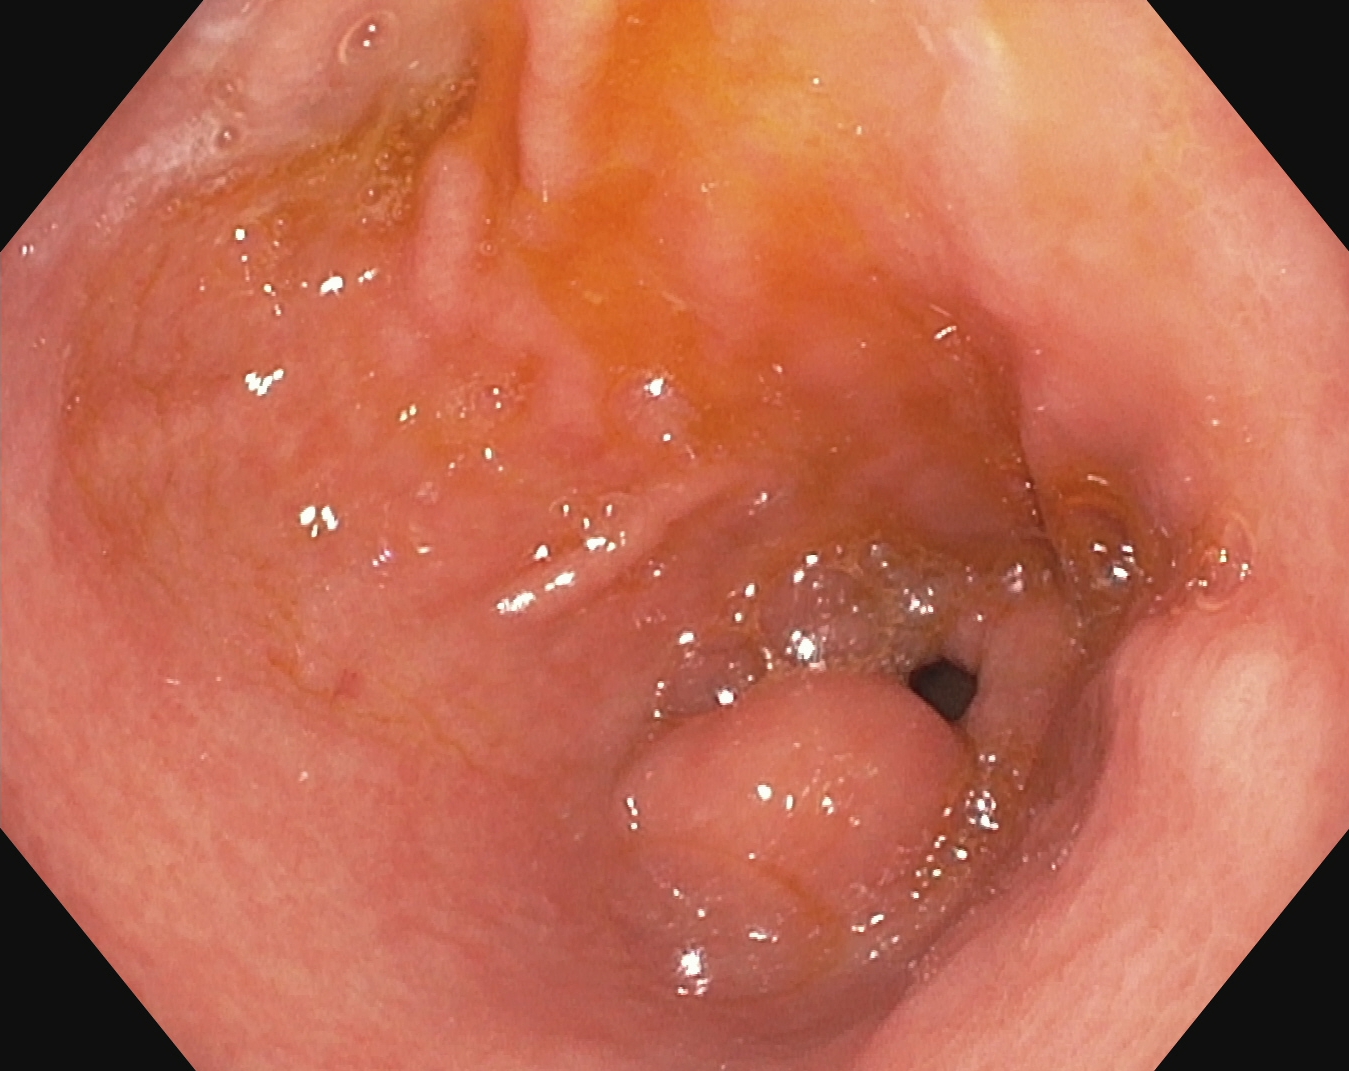Gastroscopy. Tract: upper GI tract. Anatomical landmark. Finding: pylorus.